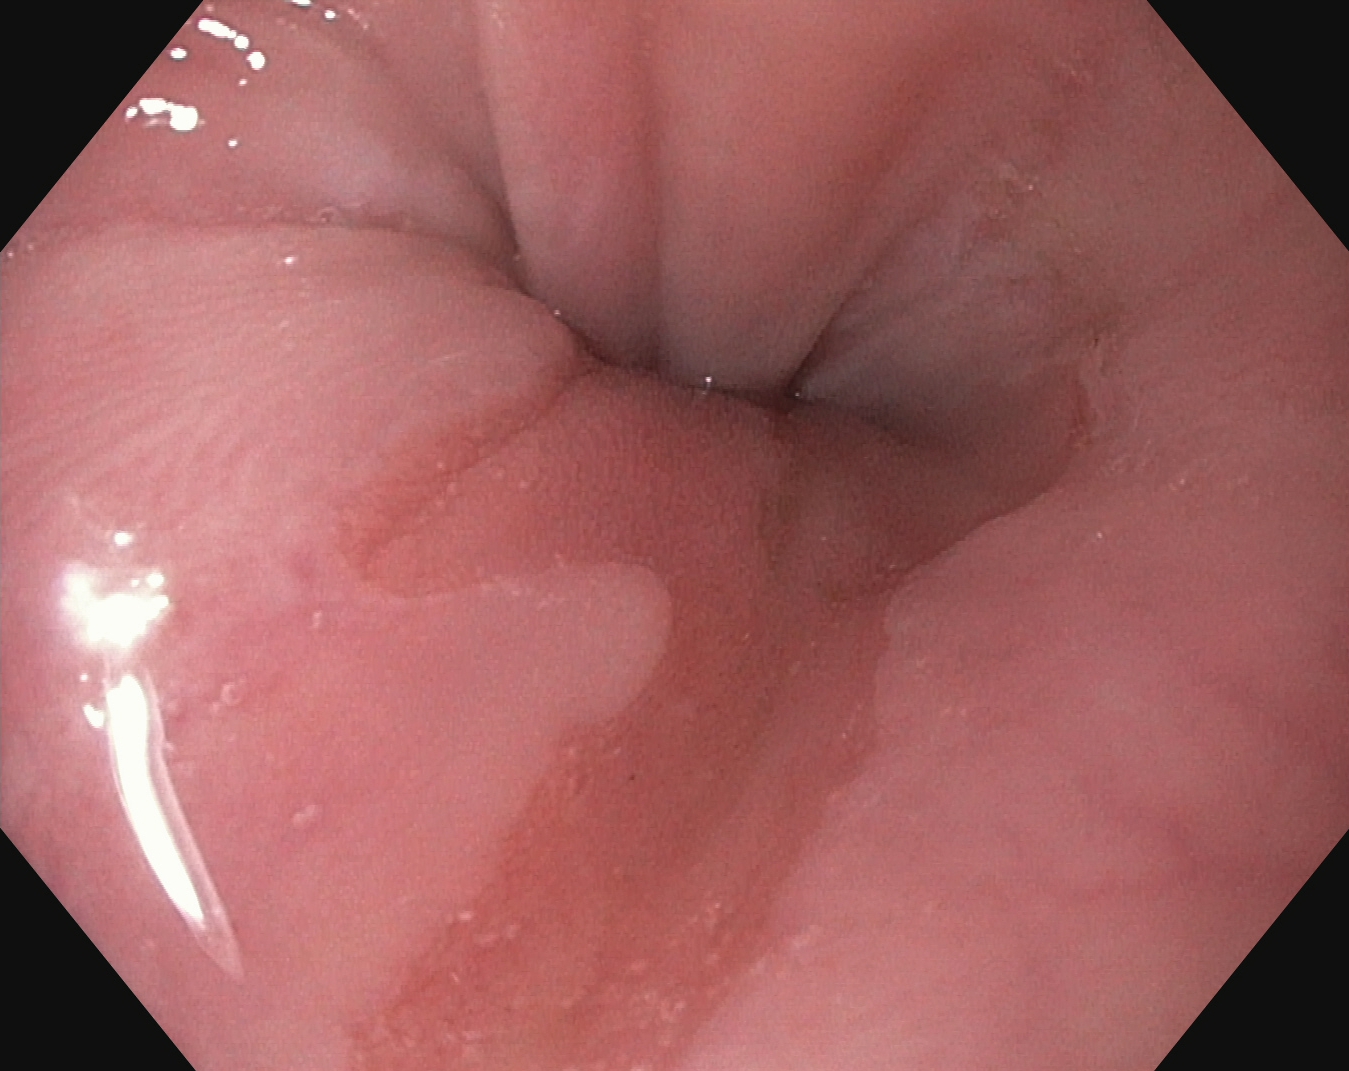Z-line (gastroesophageal junction).